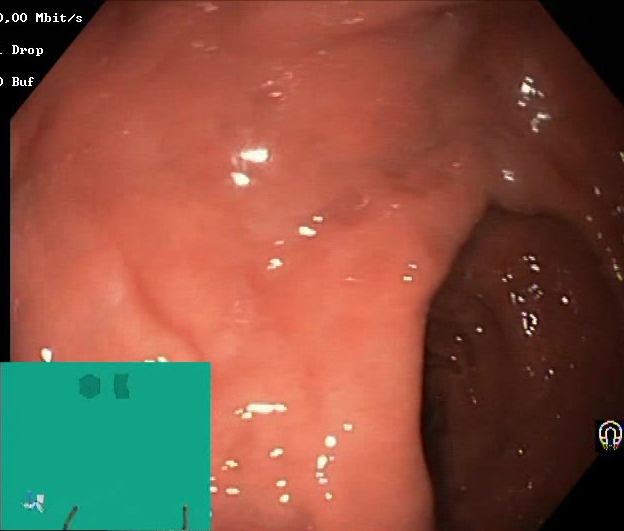BBPS score 2–3 (adequate preparation).